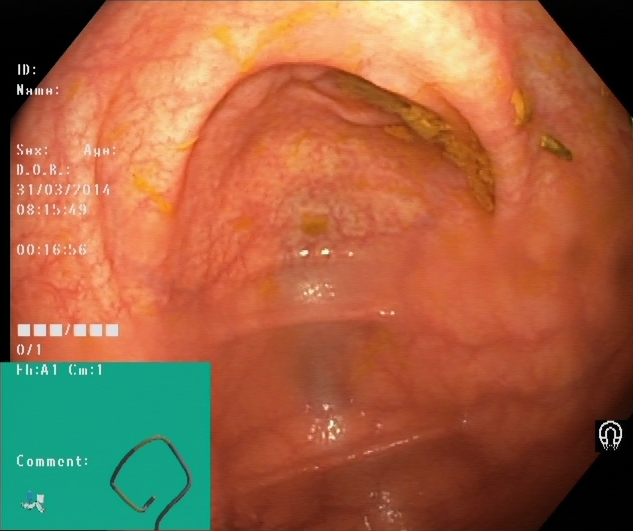Colonoscopy — cecum.